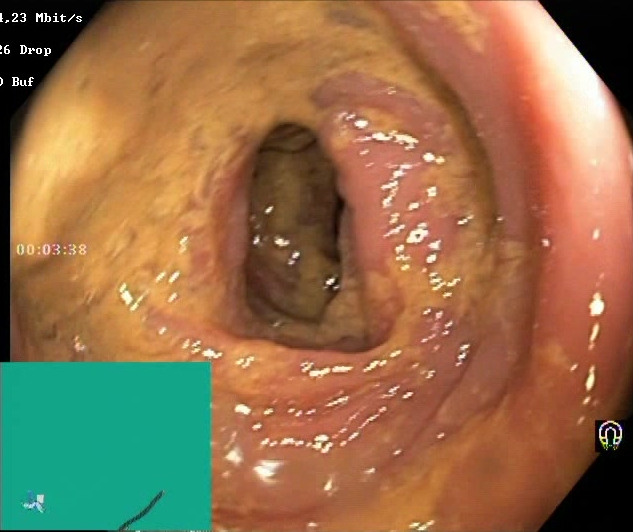Colonoscopy. Tract: lower GI tract. Finding: Boston Bowel Preparation Scale score 0–1 (inadequate preparation).